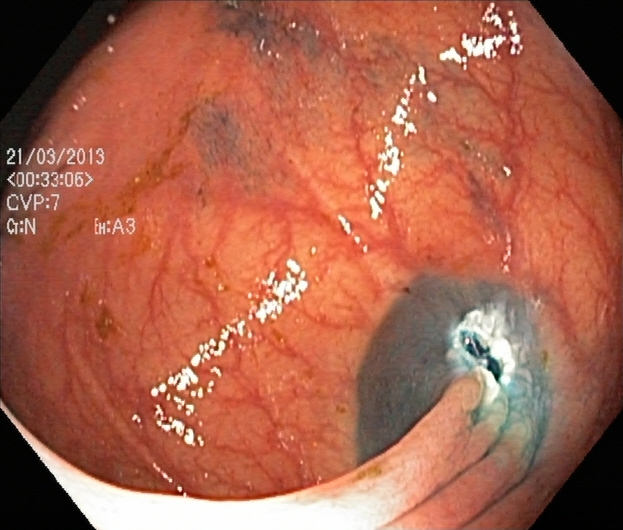This endoscopic image of the lower GI tract shows dyed resection margins (post-polypectomy).